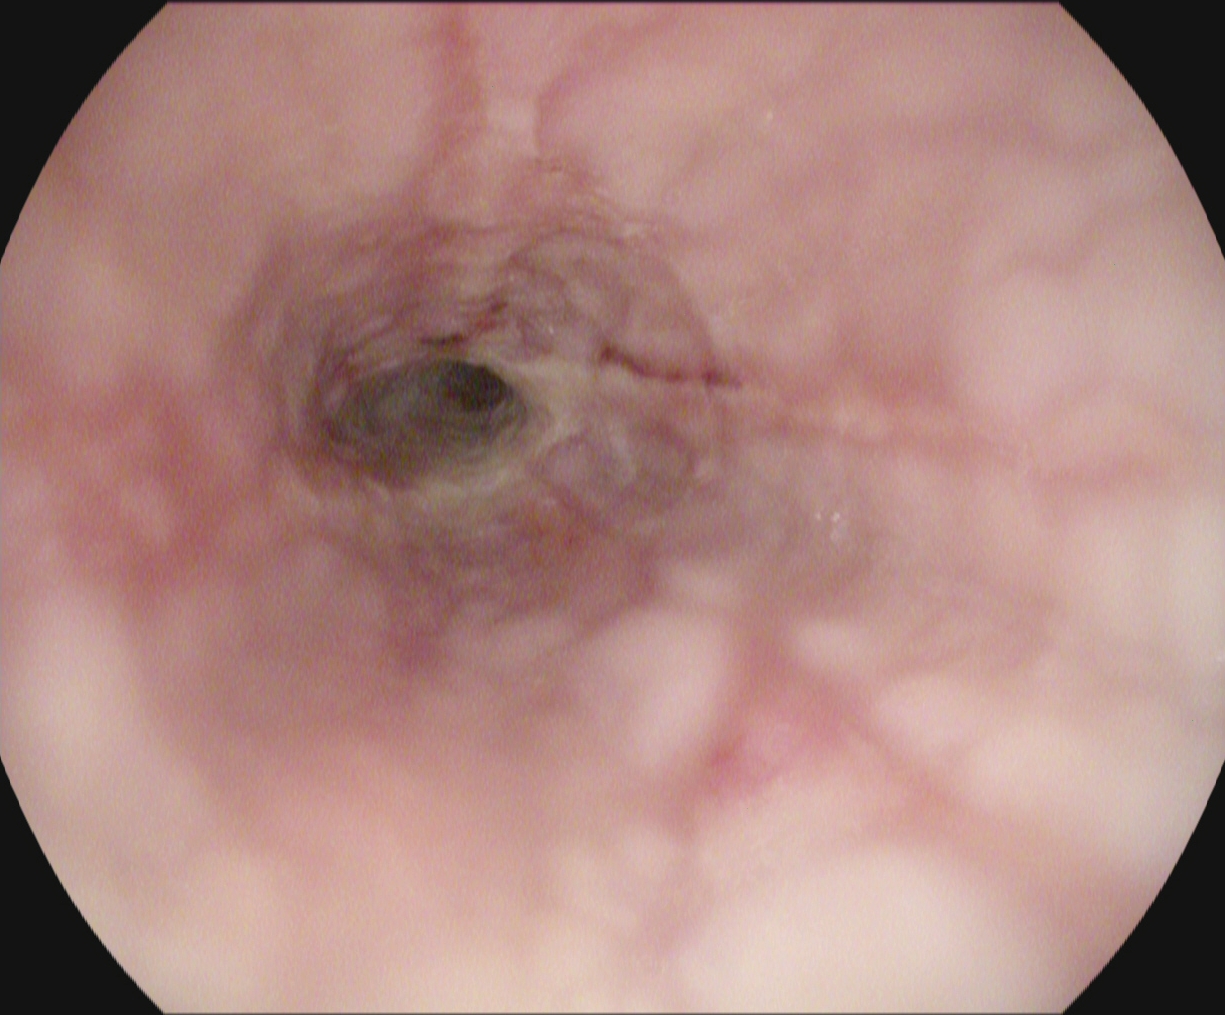Gastroscopy — reflux esophagitis, Los Angeles grade B–D.